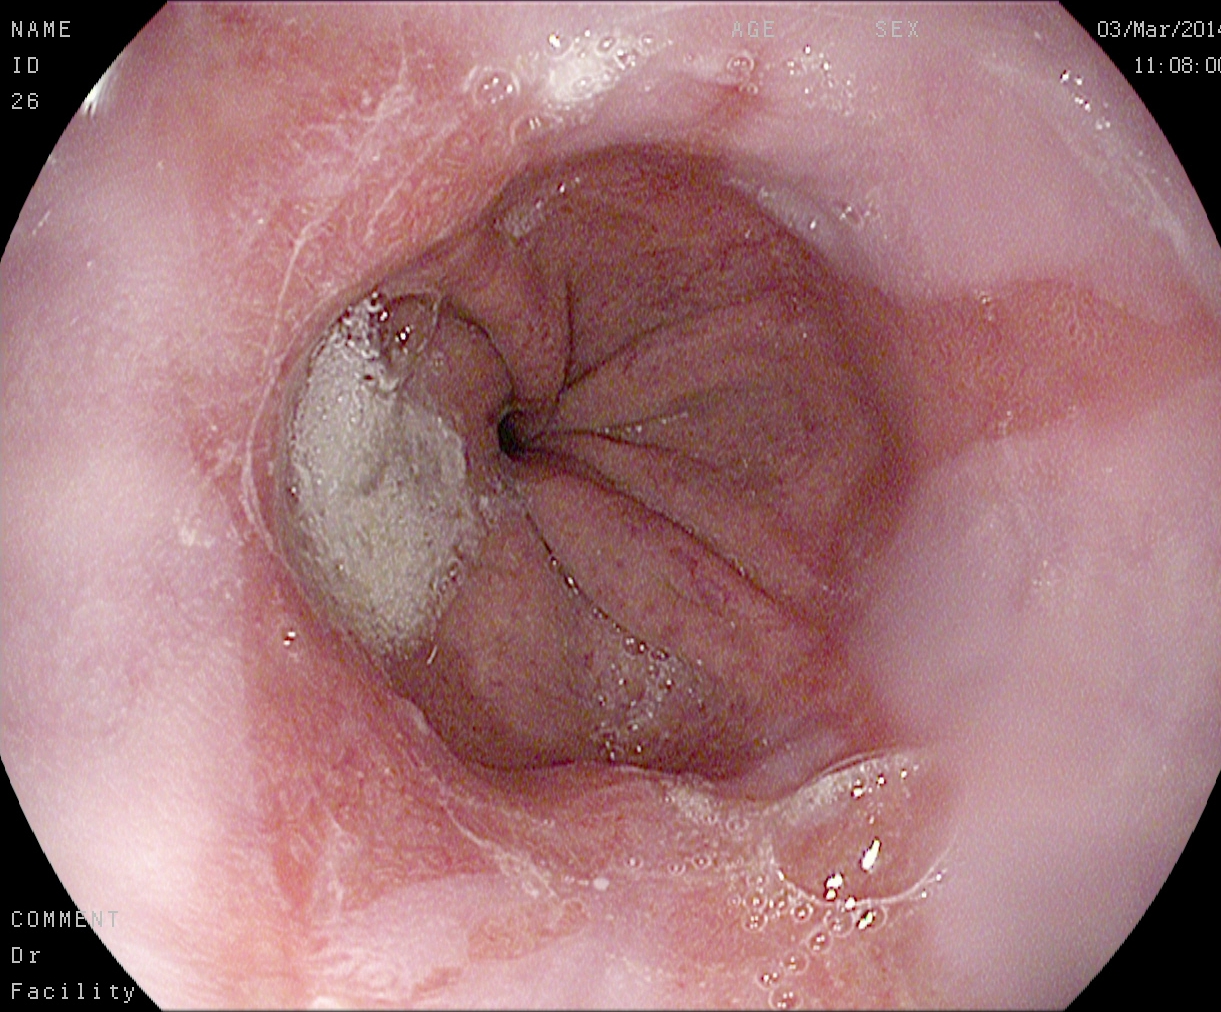Gastroscopy — Barrett's esophagus.